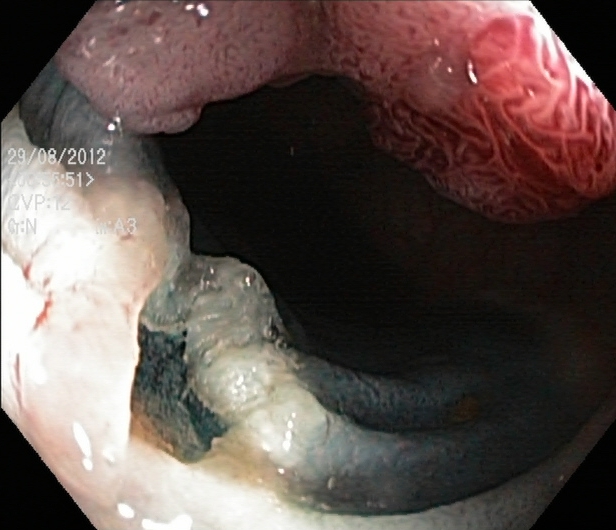PROCEDURE: Lower gastrointestinal endoscopy.
FINDINGS: Dyed resection margins (post-polypectomy).